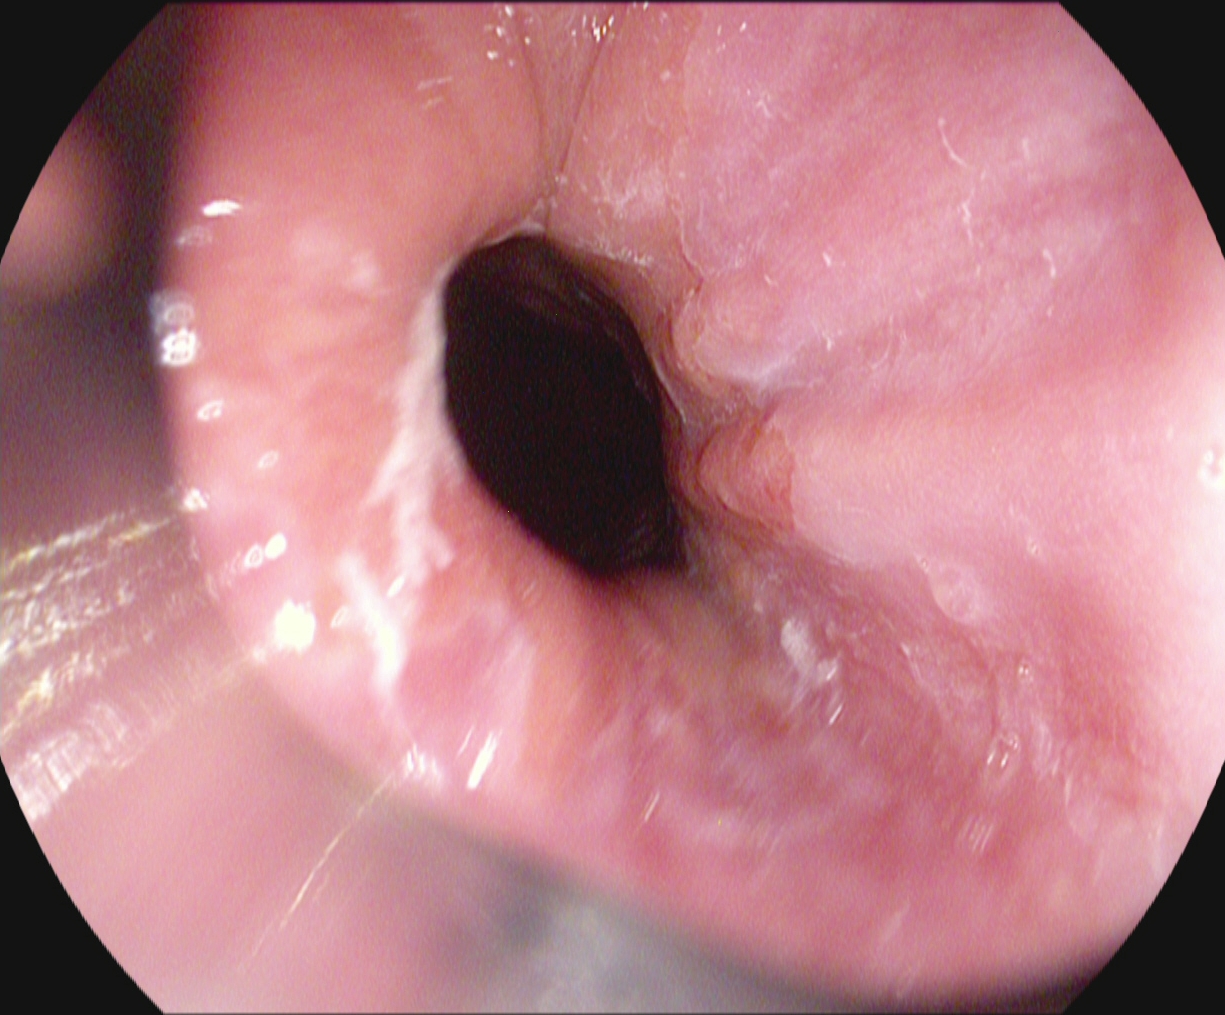This endoscopy frame shows Z-line (gastroesophageal junction).